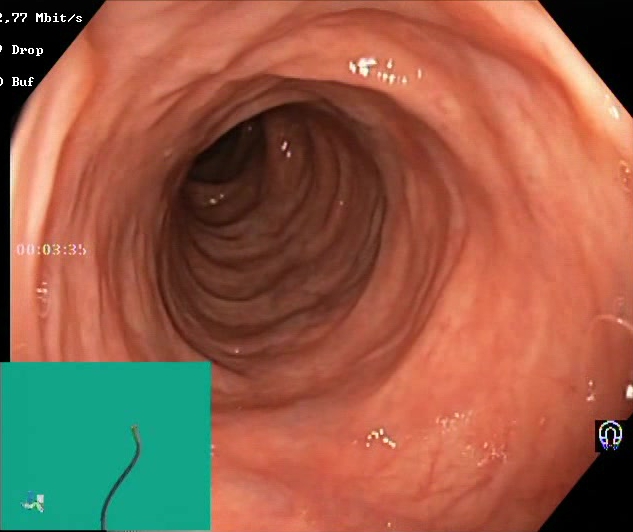Lower gastrointestinal endoscopy. Finding: BBPS score 2–3 (adequate preparation).